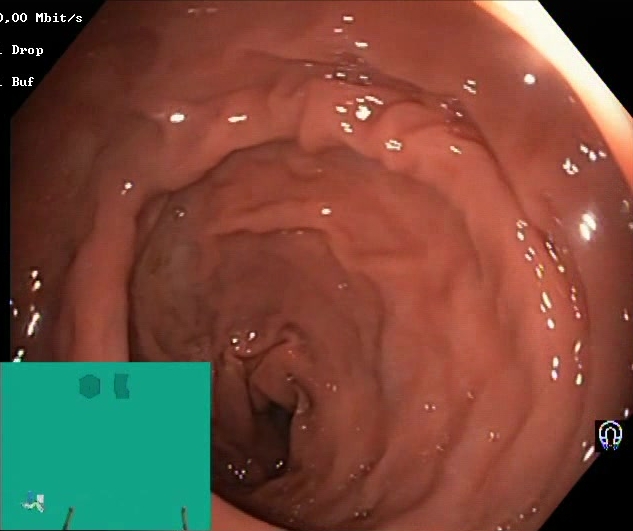This endoscopy frame shows Boston Bowel Preparation Scale score 2–3 (adequate preparation).